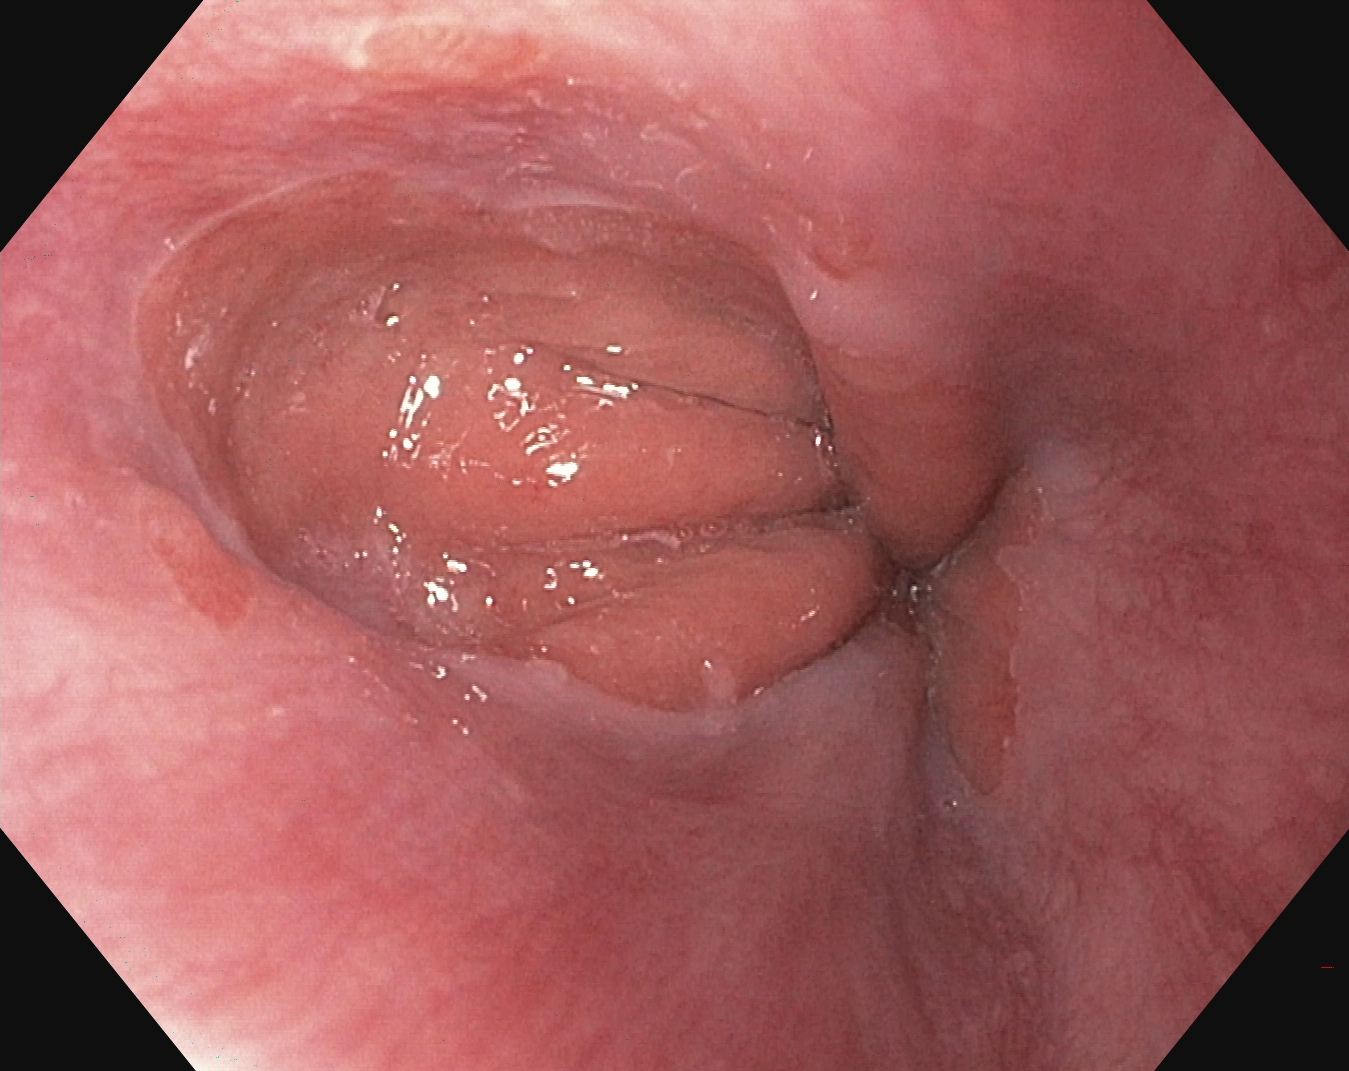Upper-GI endoscopy. Tract: upper GI tract. Anatomical landmark. Finding: Z-line (gastroesophageal junction).